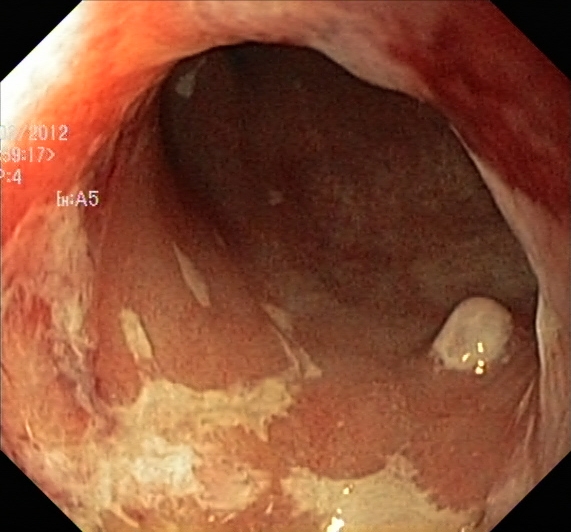modality: lower-GI endoscopy; tract: lower GI tract; category: pathological finding; finding: UC, Mayo endoscopic subscore 2